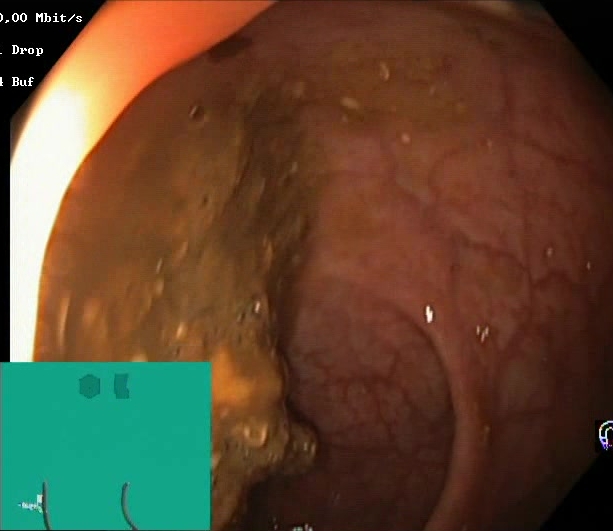{"modality": "lower-GI endoscopy", "tract": "lower GI tract", "category": "mucosal-view quality", "finding": "Boston Bowel Preparation Scale score 0\u20131 (inadequate preparation)"}